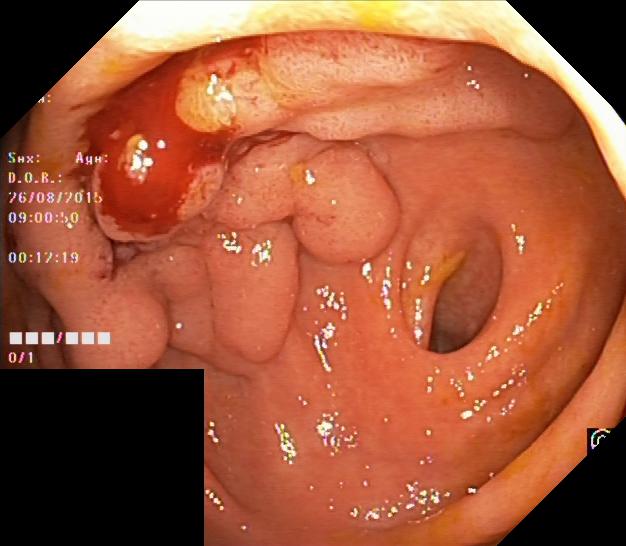Colorectal polyp(s).